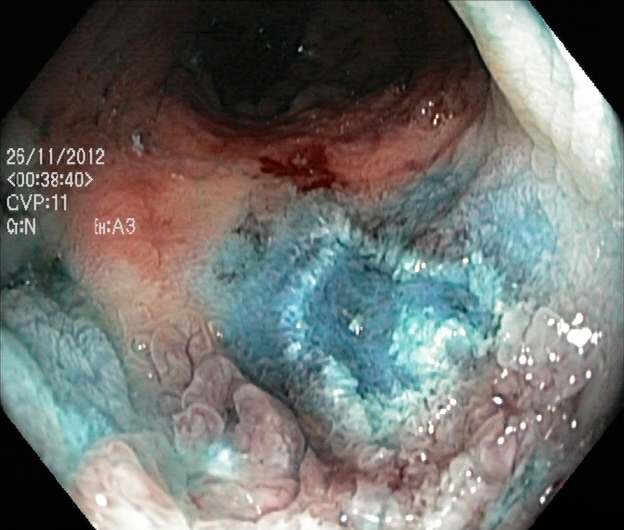Colonoscopy — dyed resection margins (post-polypectomy).